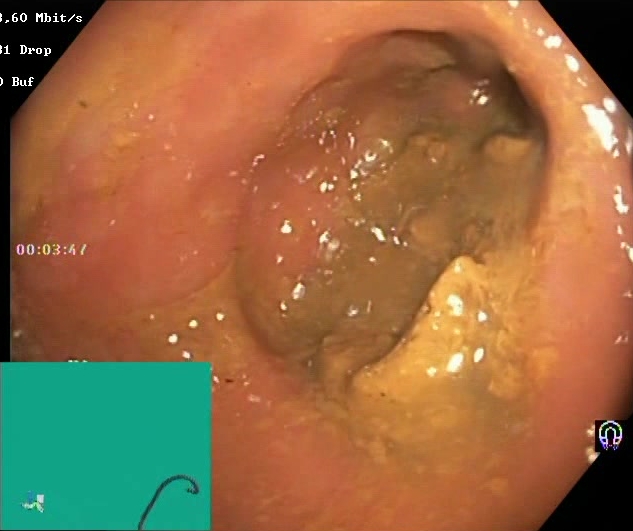PROCEDURE: Lower-GI endoscopy.
FINDINGS: Boston Bowel Preparation Scale score 0–1 (inadequate preparation).